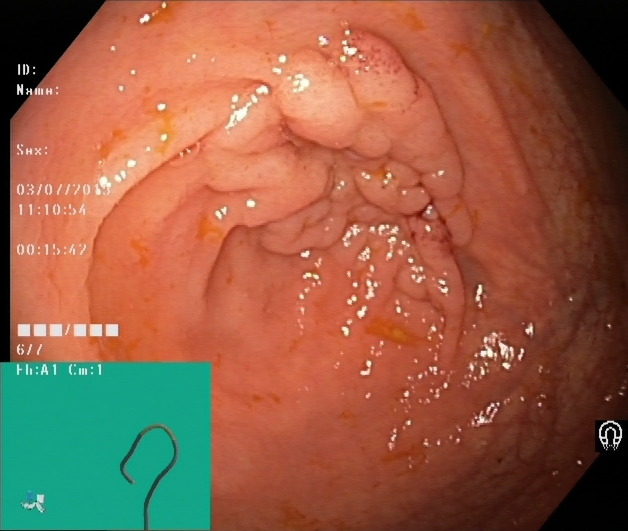Cecum.